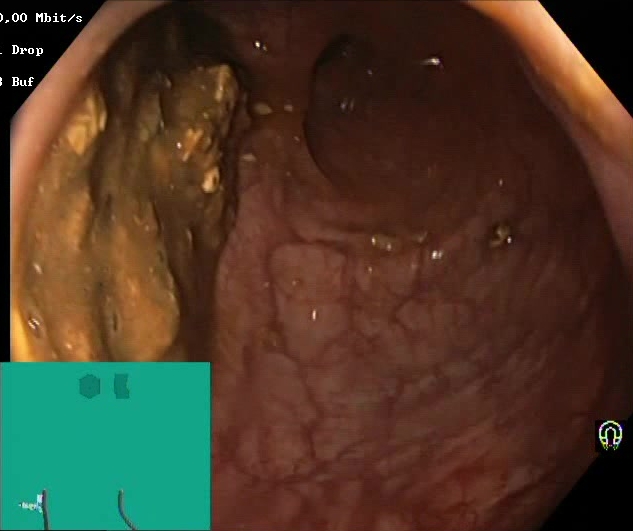This endoscopic image shows Boston Bowel Preparation Scale score 0–1 (inadequate preparation).